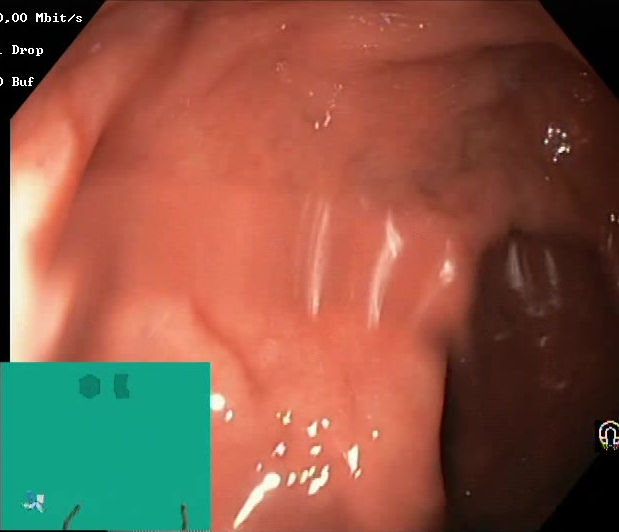Lower gastrointestinal endoscopy. Tract: lower GI tract. Mucosal-view quality. Finding: BBPS score 2–3 (adequate preparation).